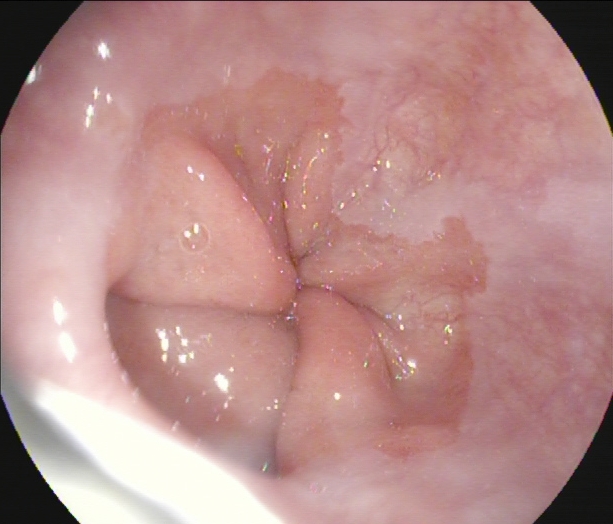modality: EGD; tract: upper GI tract; category: anatomical landmark; finding: Z-line (gastroesophageal junction)